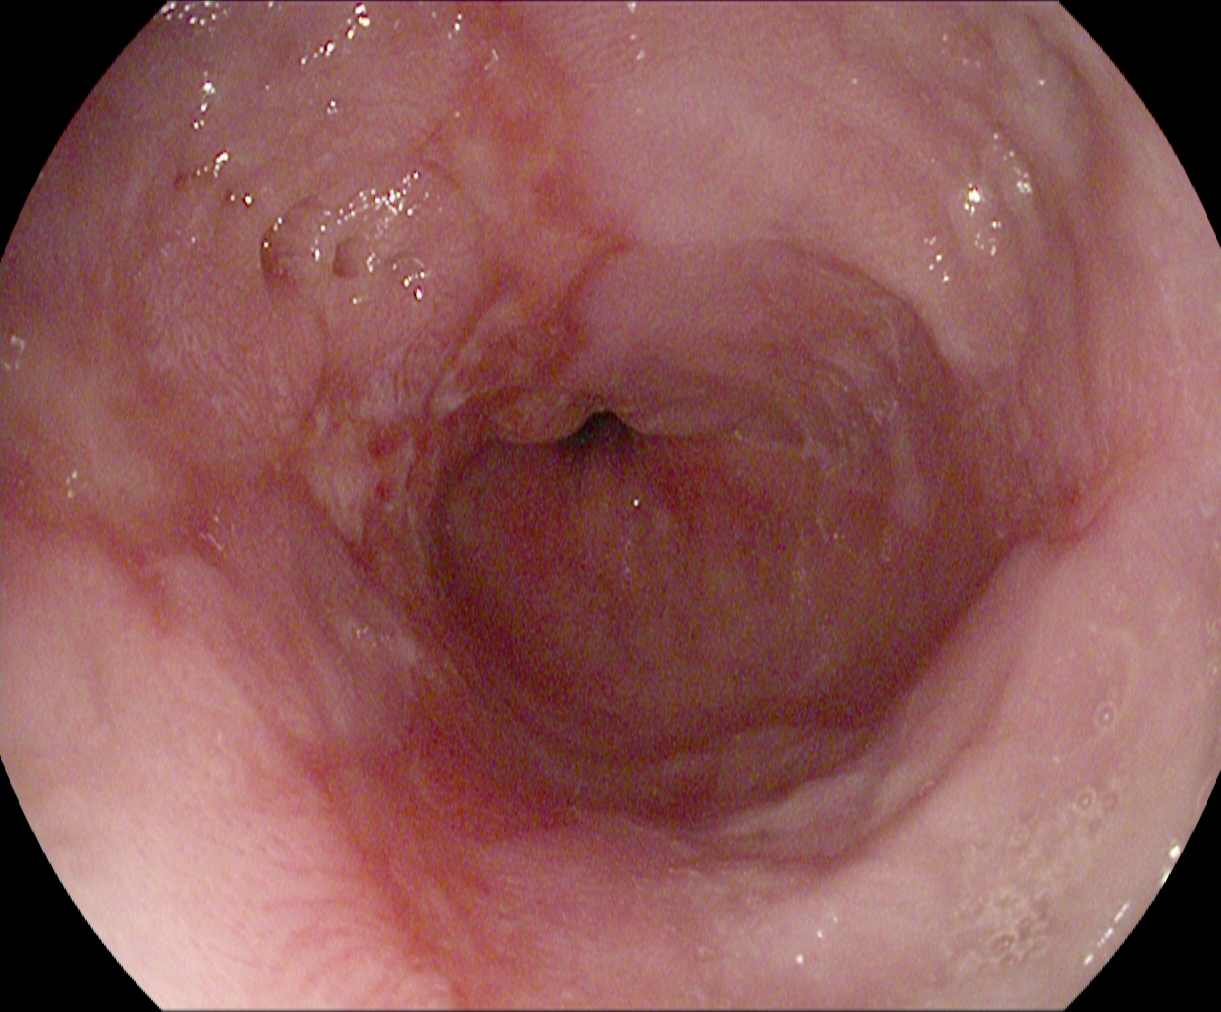EGD — reflux esophagitis, LA grade B–D.